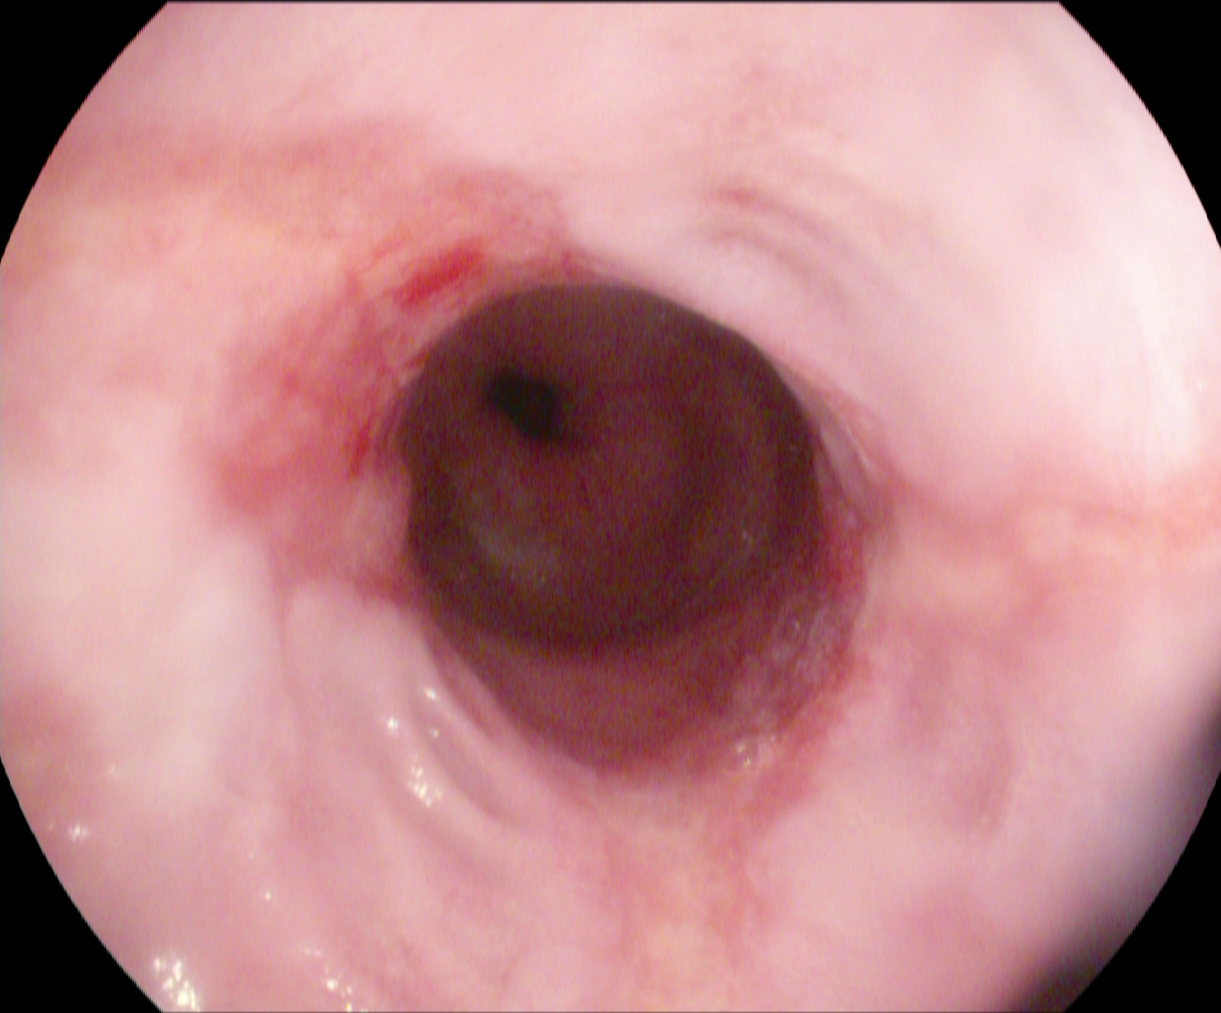Esophagogastroduodenoscopy. Tract: upper GI tract. Finding: reflux esophagitis, Los Angeles grade B–D.